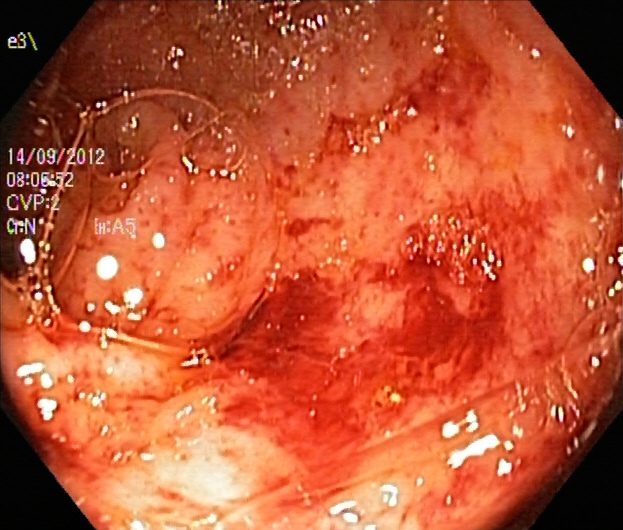This endoscopic image shows ulcerative colitis, Mayo endoscopic subscore 3.